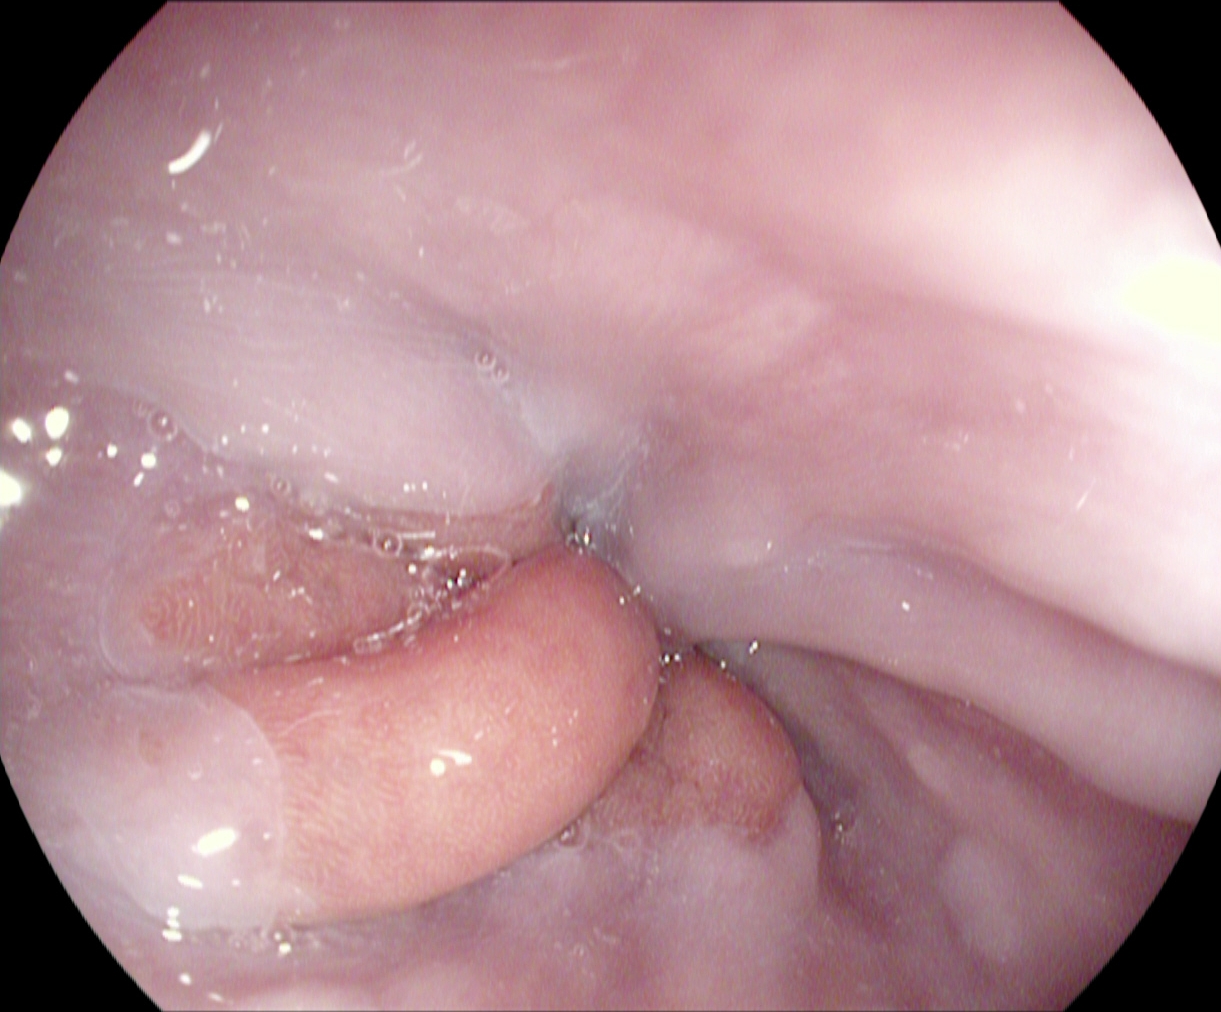Upper-GI endoscopy — Z-line (gastroesophageal junction).